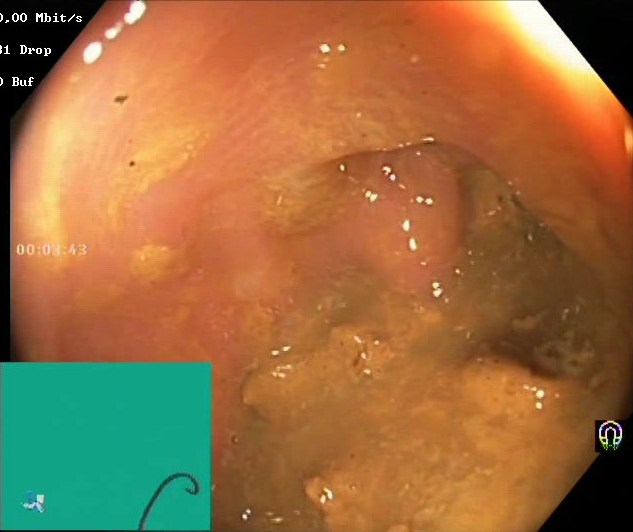This endoscopy frame of the lower GI tract shows Boston Bowel Preparation Scale score 0–1 (inadequate preparation).